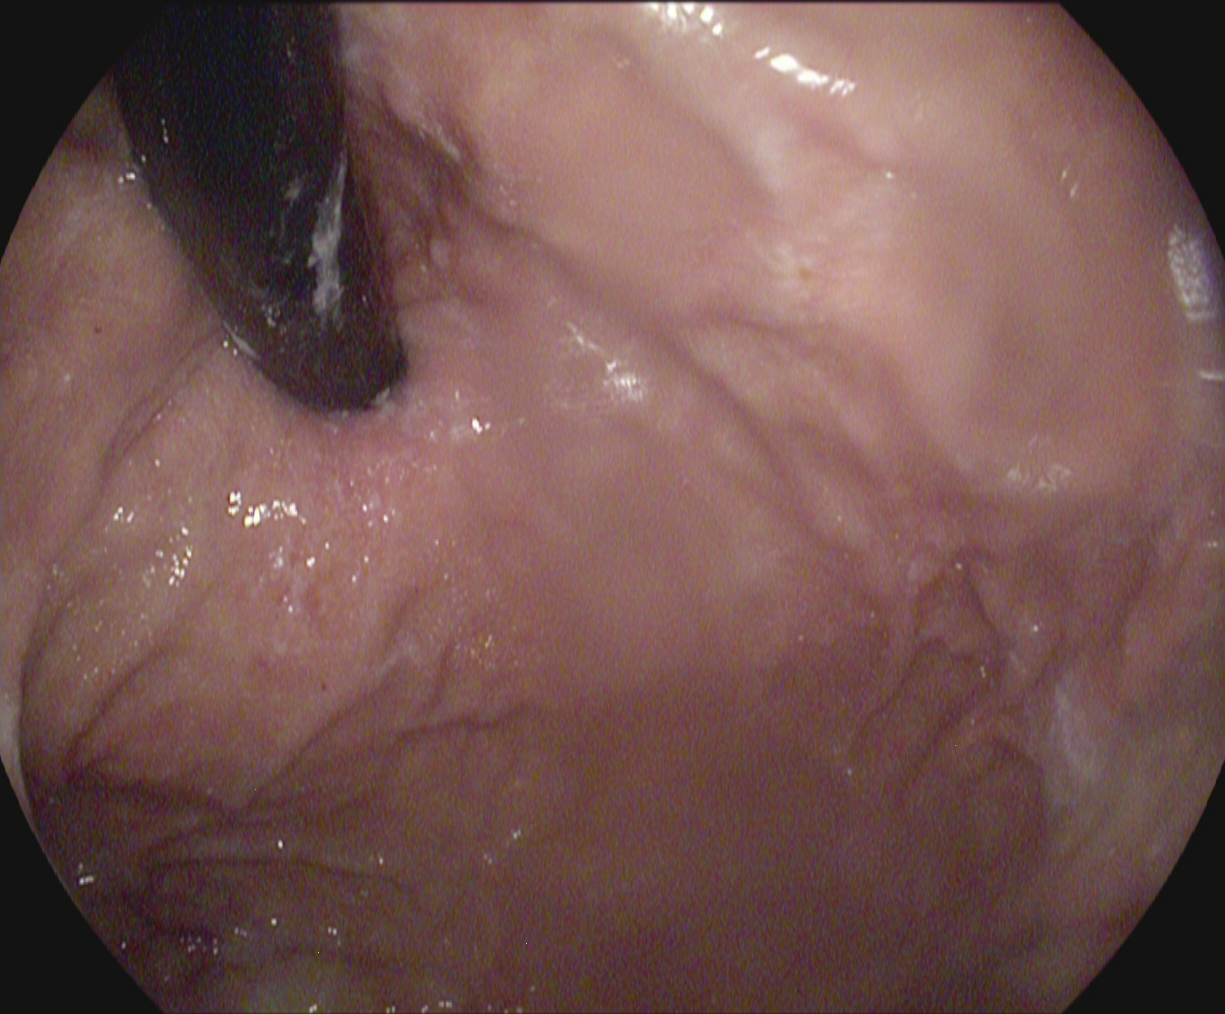Upper-GI endoscopy. Finding: stomach in retroflexion.